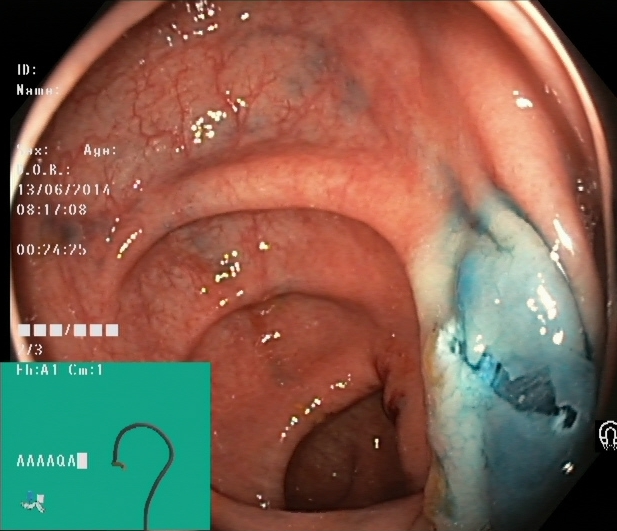Lower-GI endoscopy — dyed resection margins (post-polypectomy).